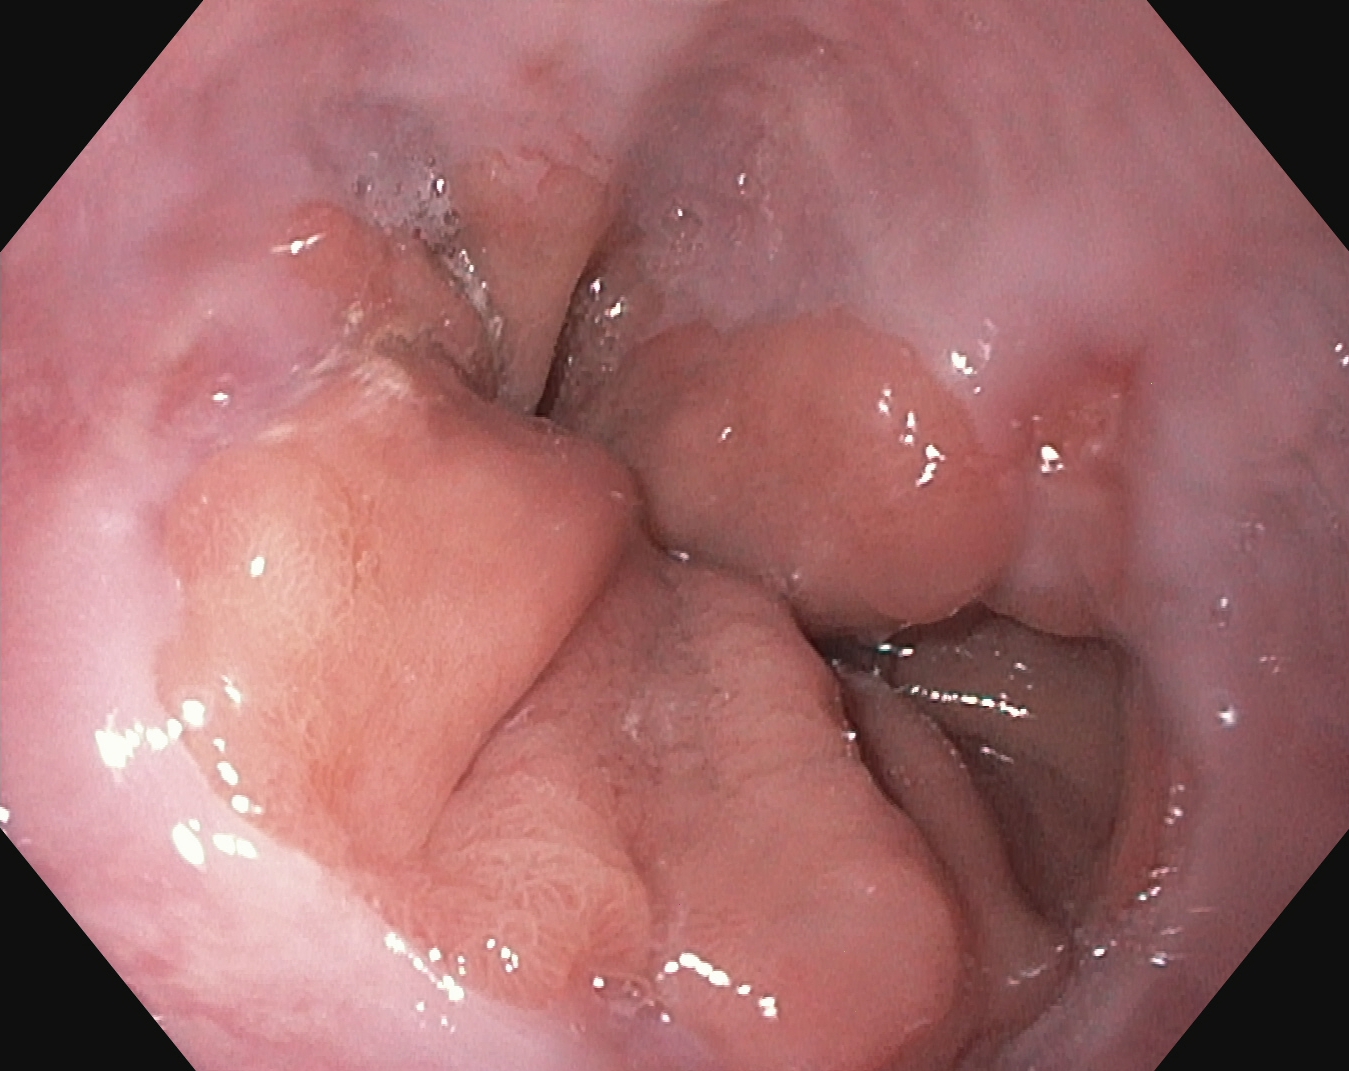EGD image showing reflux esophagitis, LA grade A.